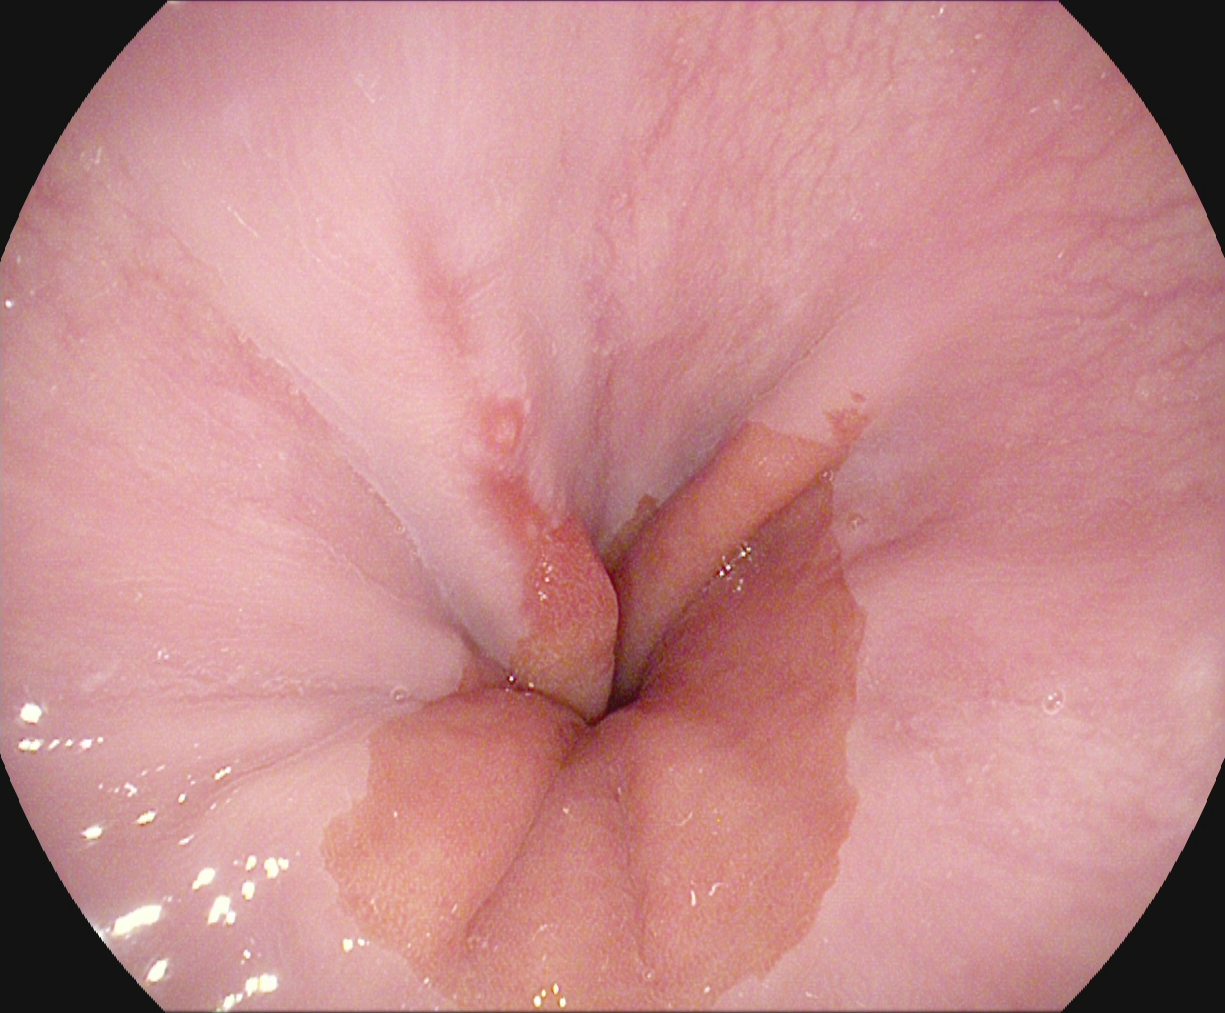Reflux esophagitis, LA grade A.